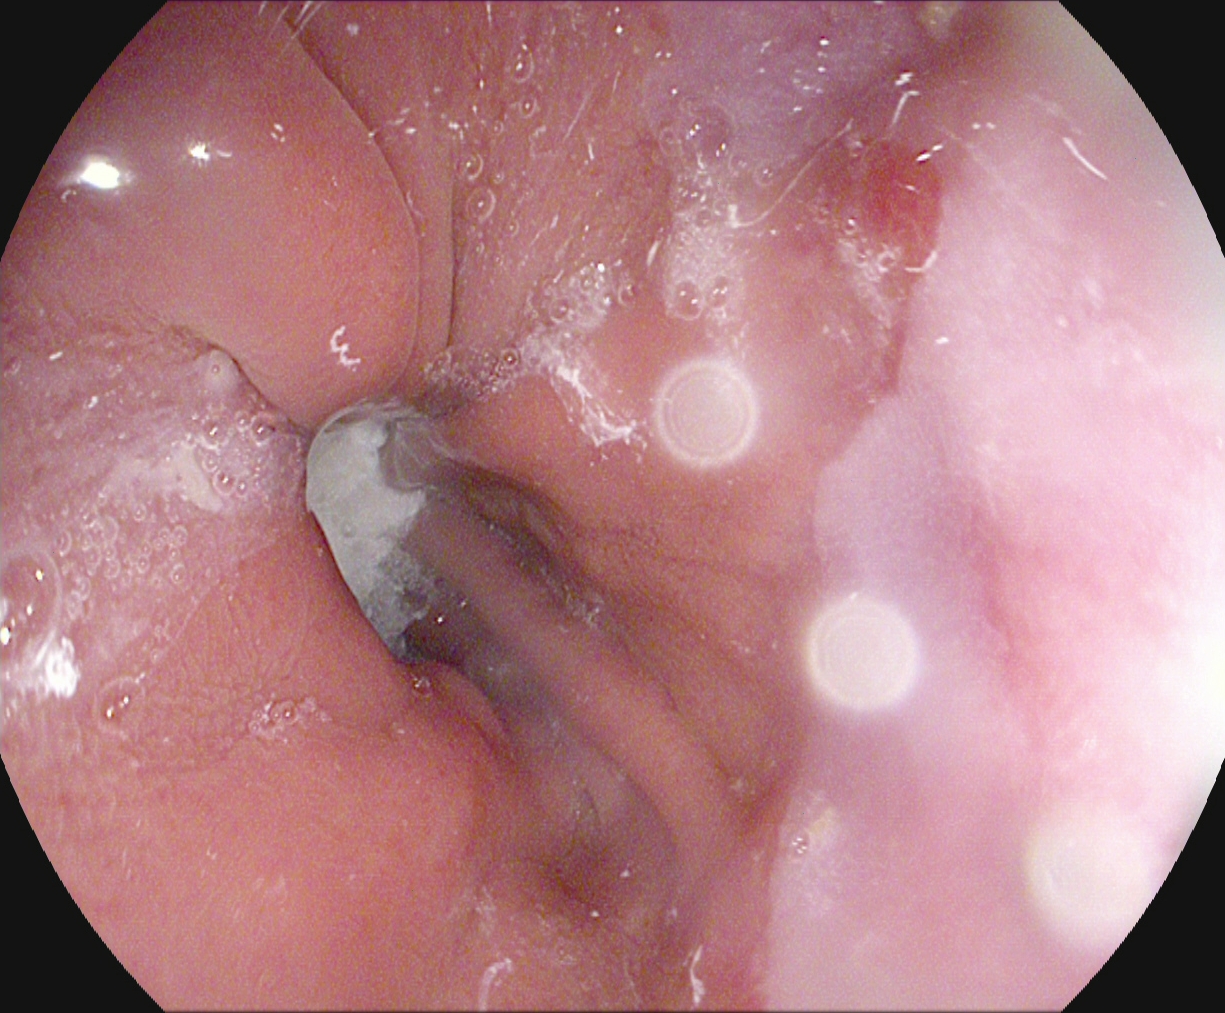Reflux esophagitis, LA grade A.